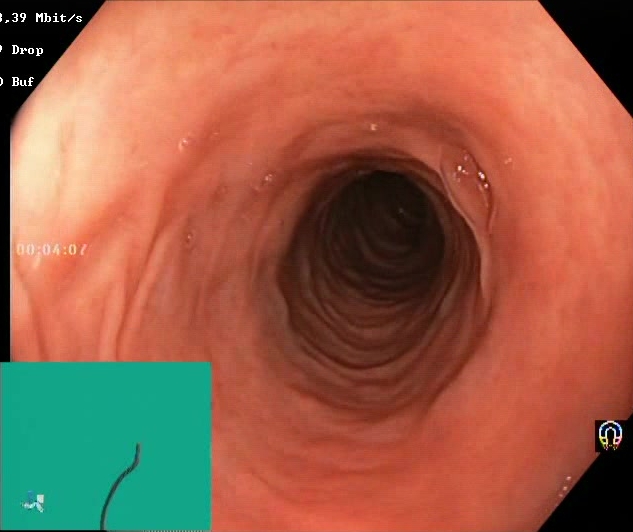Lower-GI endoscopy — BBPS score 2–3 (adequate preparation).